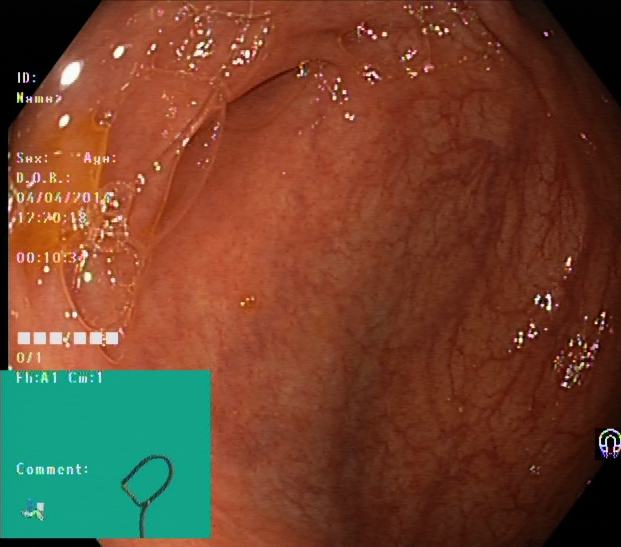Lower gastrointestinal endoscopy. Tract: lower GI tract. Anatomical landmark. Finding: cecum.